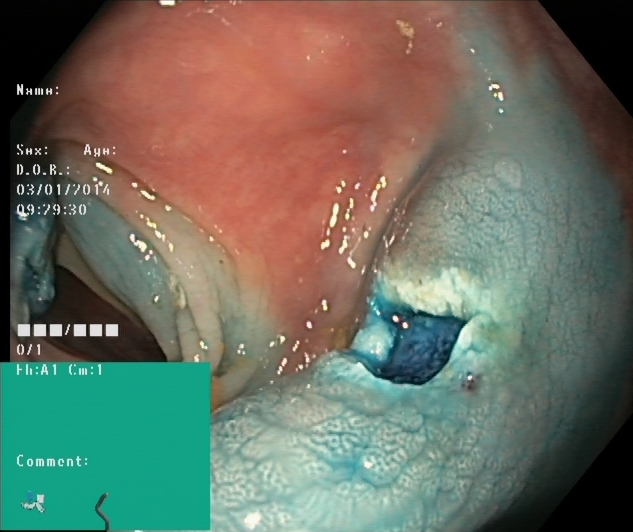Lower-GI endoscopy. Tract: lower GI tract. Therapeutic intervention. Finding: dyed resection margins (post-polypectomy).